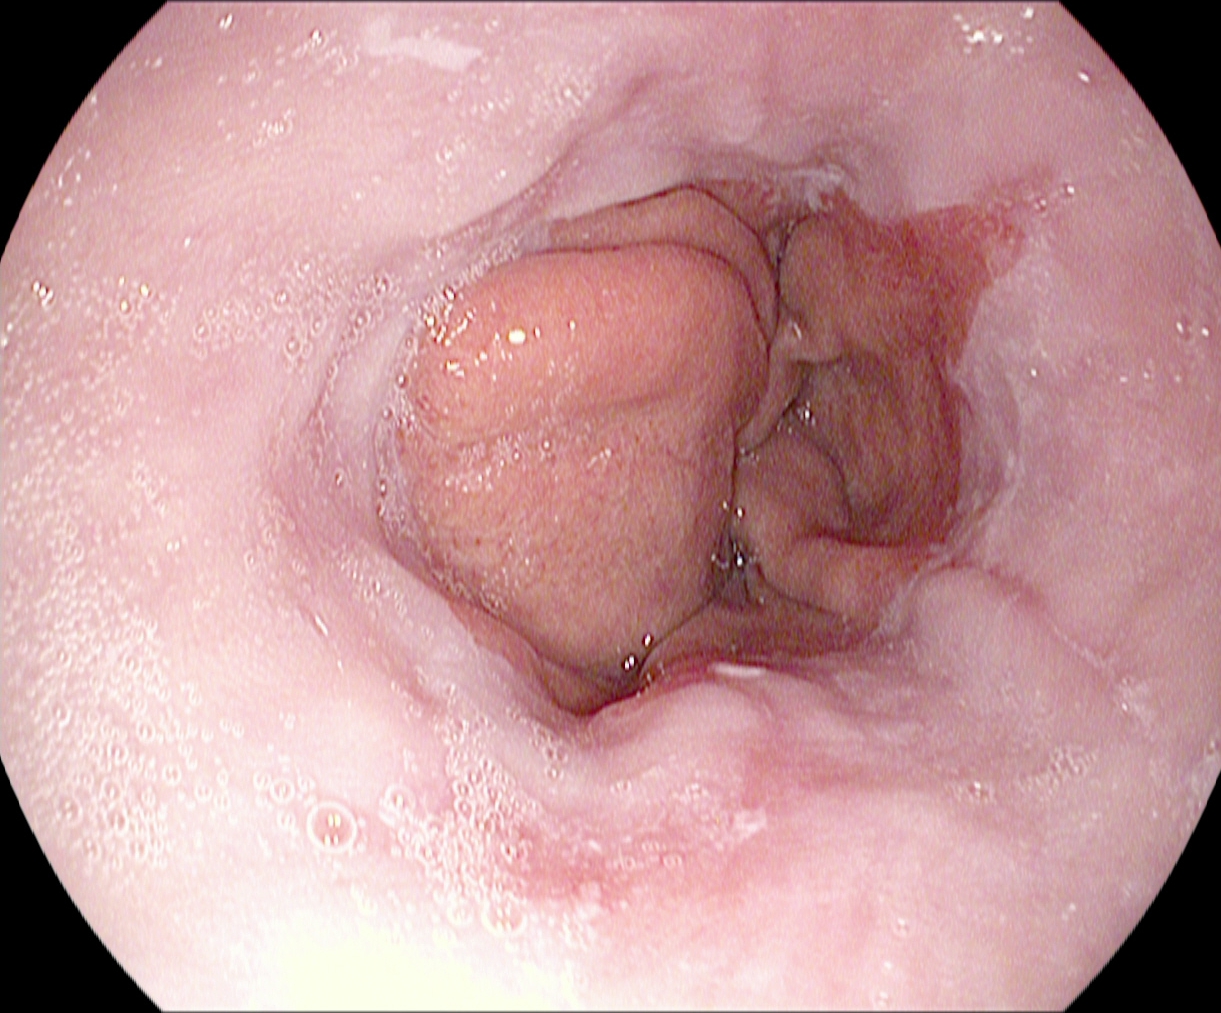PROCEDURE: Esophagogastroduodenoscopy.
FINDINGS: Reflux esophagitis, Los Angeles grade A.